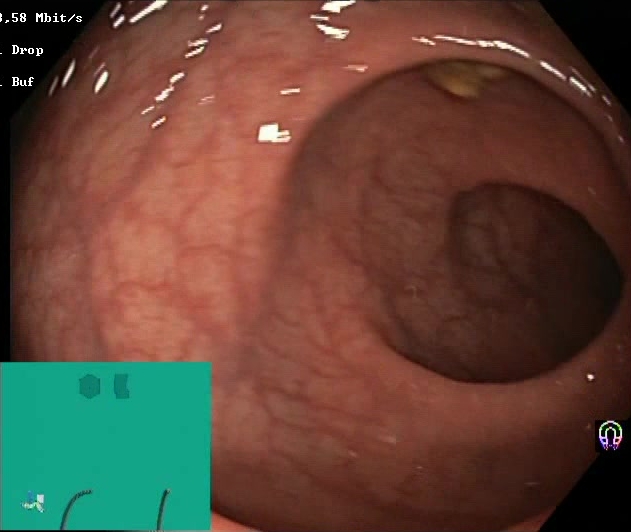Lower gastrointestinal endoscopy. Tract: lower GI tract. Mucosal-view quality. Finding: Boston Bowel Preparation Scale score 2–3 (adequate preparation).